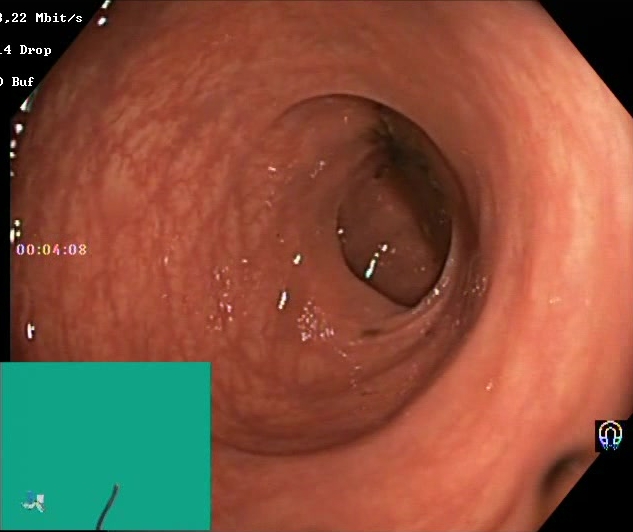This endoscopic image of the lower GI tract shows Boston Bowel Preparation Scale score 0–1 (inadequate preparation).